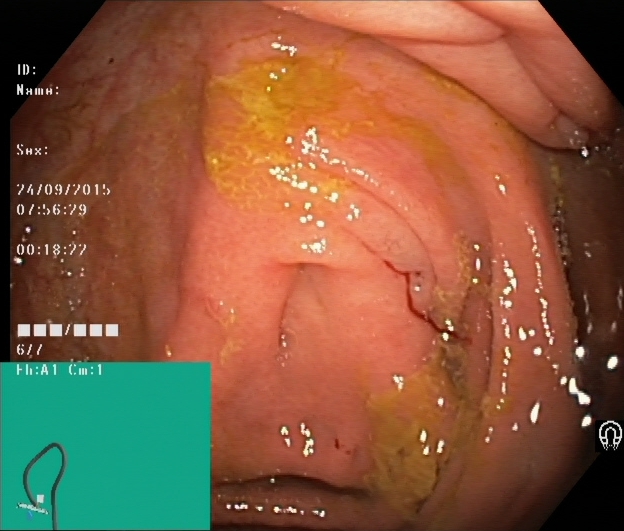PROCEDURE: Lower-GI endoscopy.
CATEGORY: Anatomical landmark.
FINDINGS: Cecum.